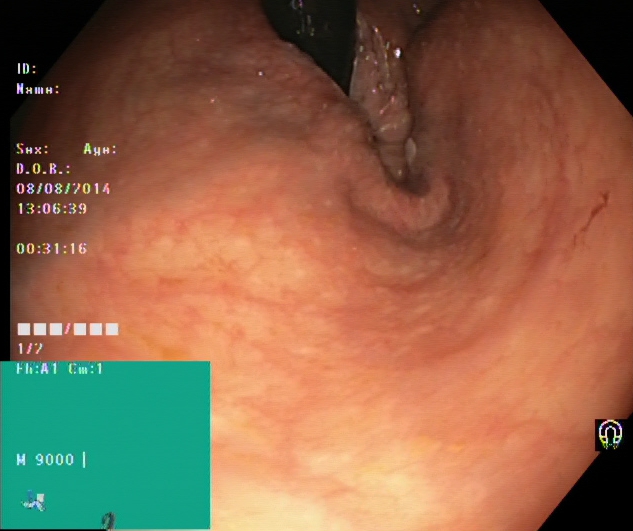This endoscopic image of the lower GI tract shows rectum in retroflexion.